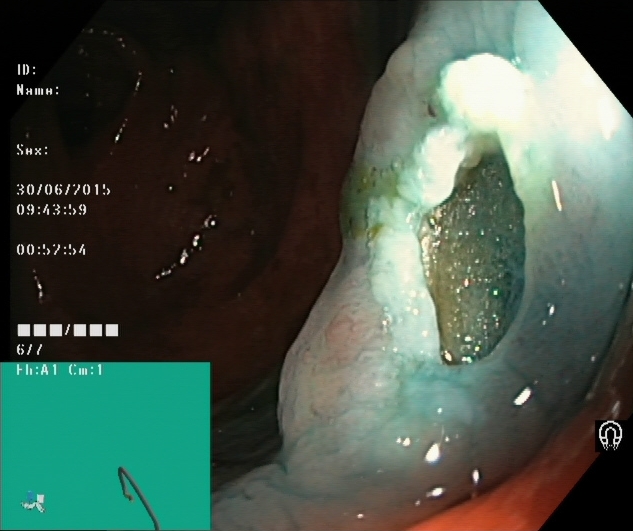{"modality": "lower gastrointestinal endoscopy", "tract": "lower GI tract", "finding": "dyed resection margins (post-polypectomy)"}